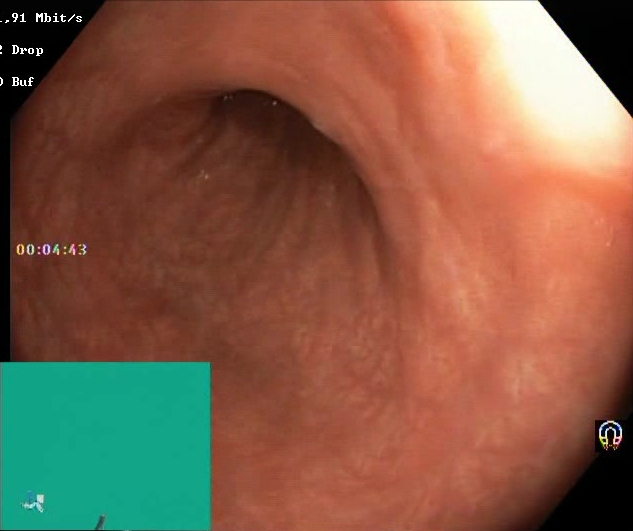Boston Bowel Preparation Scale score 2–3 (adequate preparation).